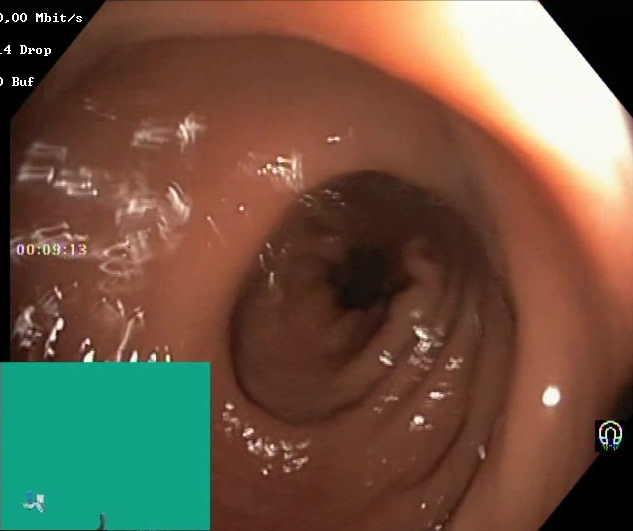PROCEDURE: Colonoscopy.
CATEGORY: Mucosal-view quality.
FINDINGS: Boston Bowel Preparation Scale score 2–3 (adequate preparation).